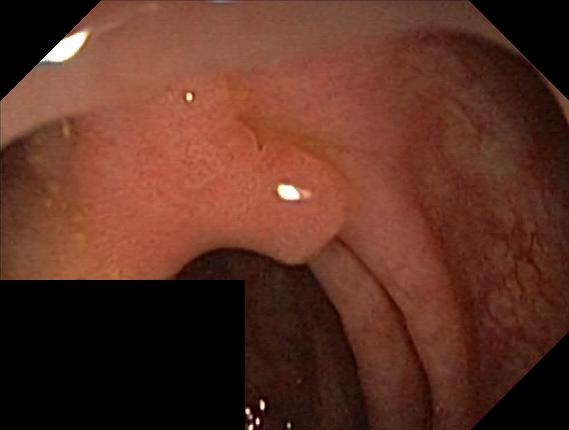PROCEDURE: Lower gastrointestinal endoscopy.
CATEGORY: Pathological finding.
FINDINGS: Colorectal polyp(s).